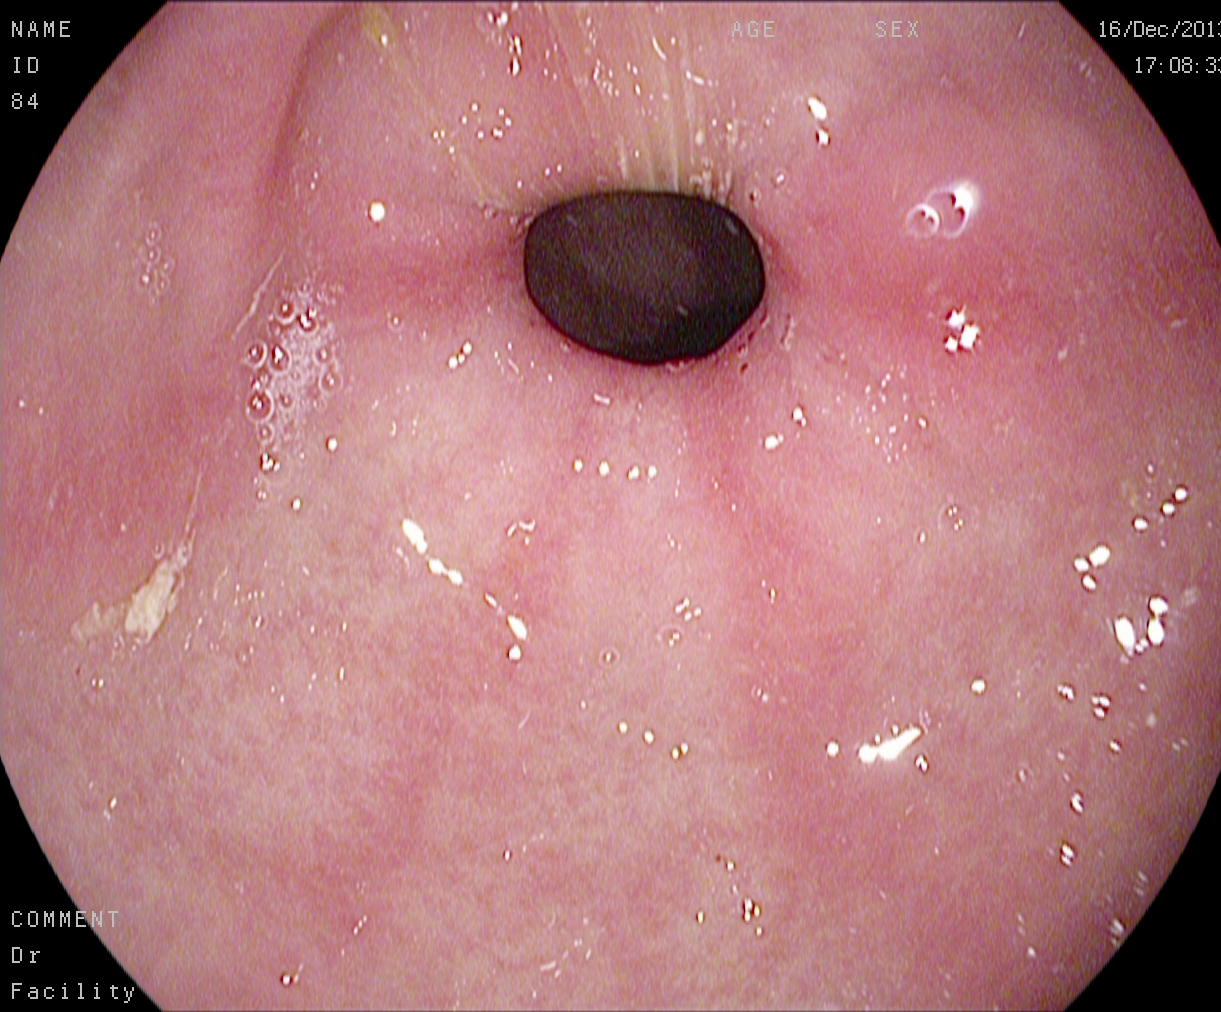Esophagogastroduodenoscopy. Finding: pylorus.